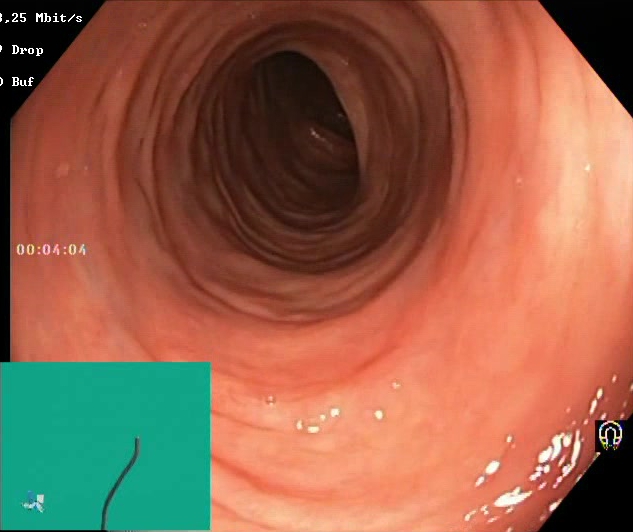modality: lower-GI endoscopy
tract: lower GI tract
finding: Boston Bowel Preparation Scale score 2–3 (adequate preparation)